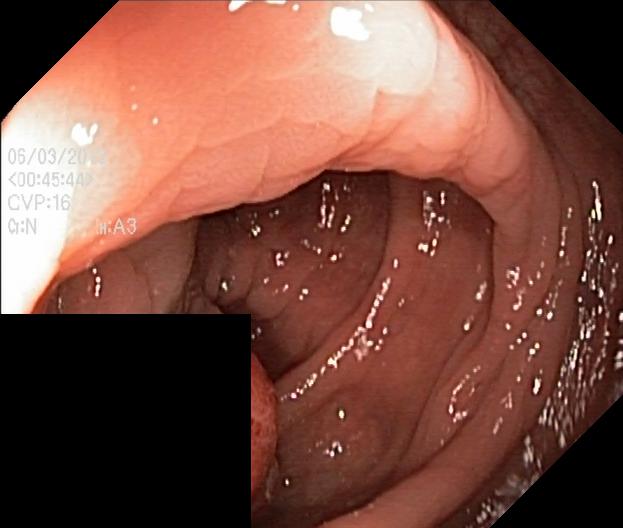modality: lower gastrointestinal endoscopy
tract: lower GI tract
finding: colorectal polyp(s)